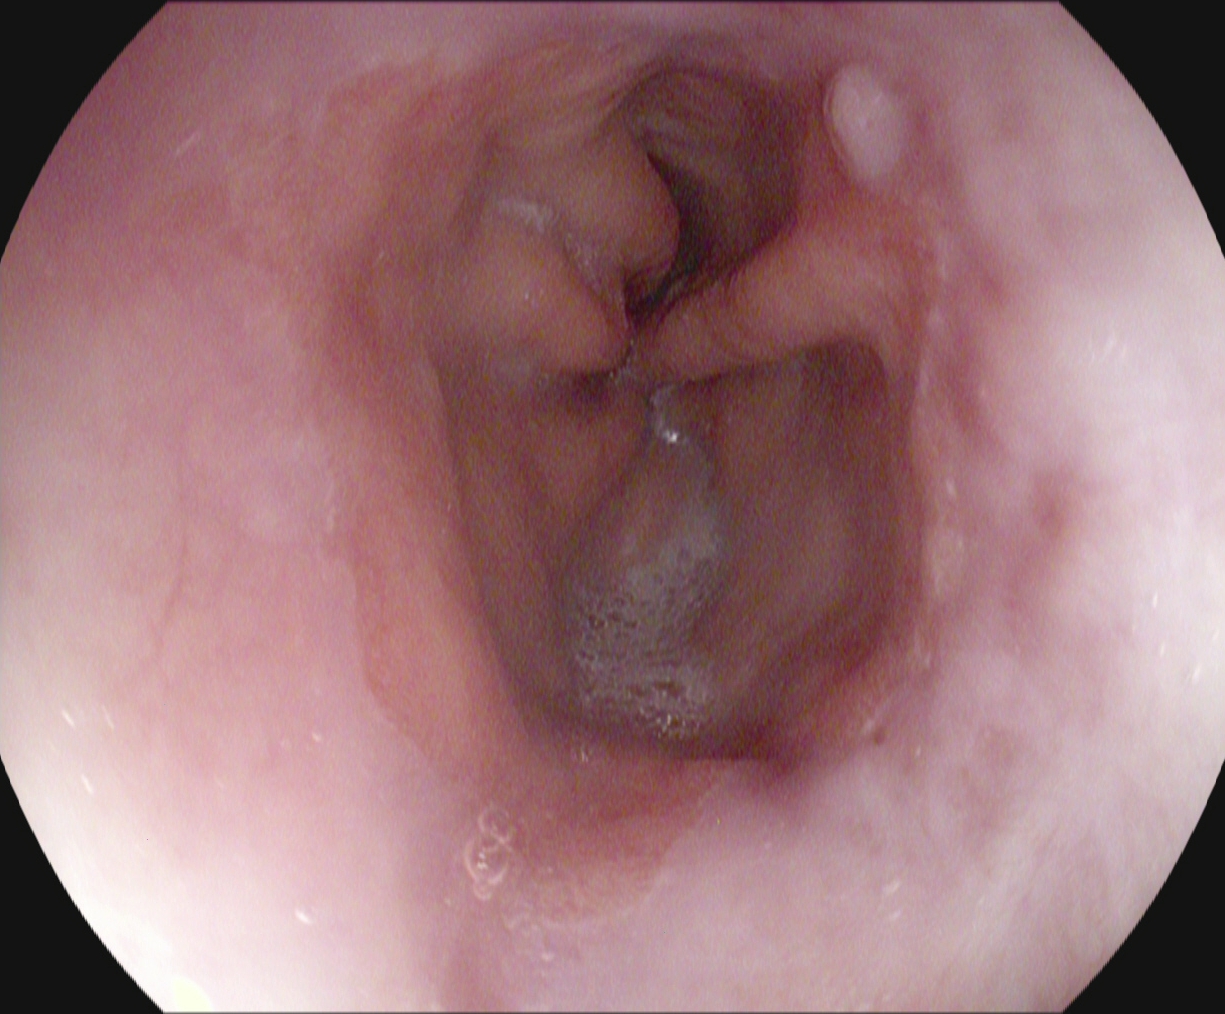{"modality": "gastroscopy", "finding": "Barrett's esophagus"}